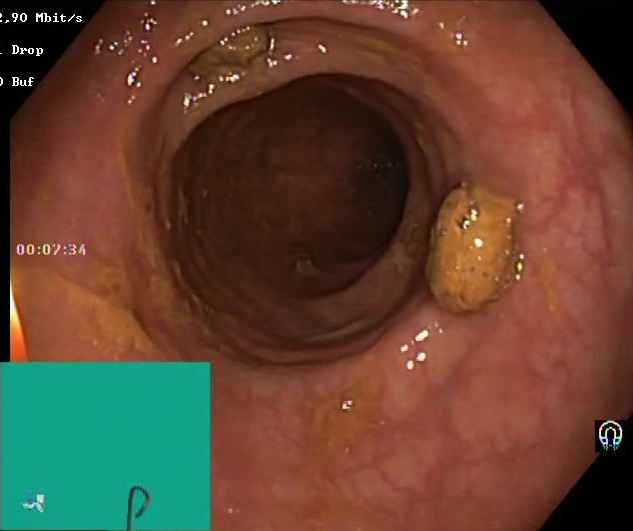This endoscopic image of the lower GI tract shows Boston Bowel Preparation Scale score 2–3 (adequate preparation).